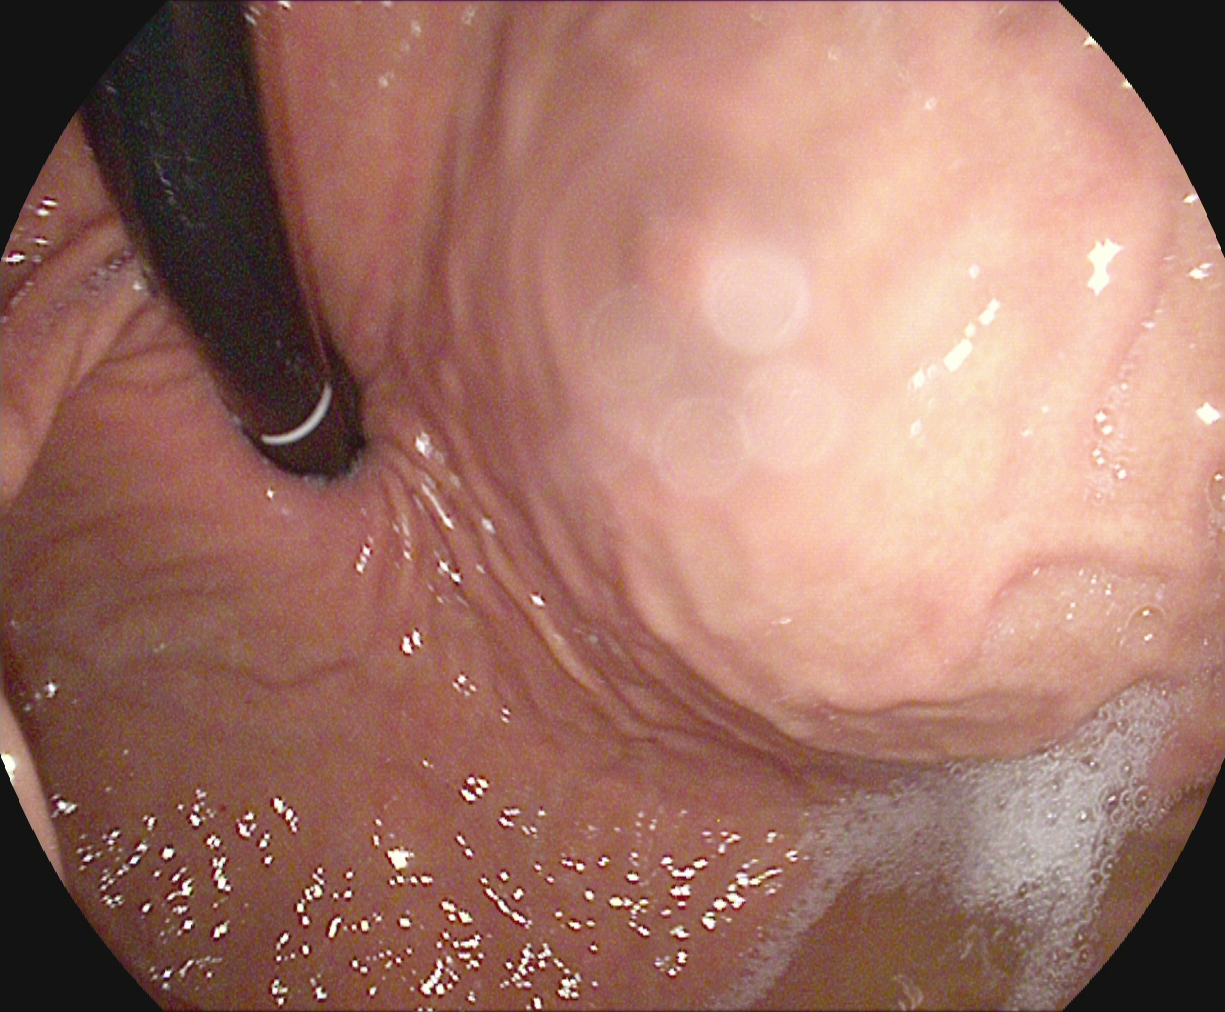Stomach in retroflexion.